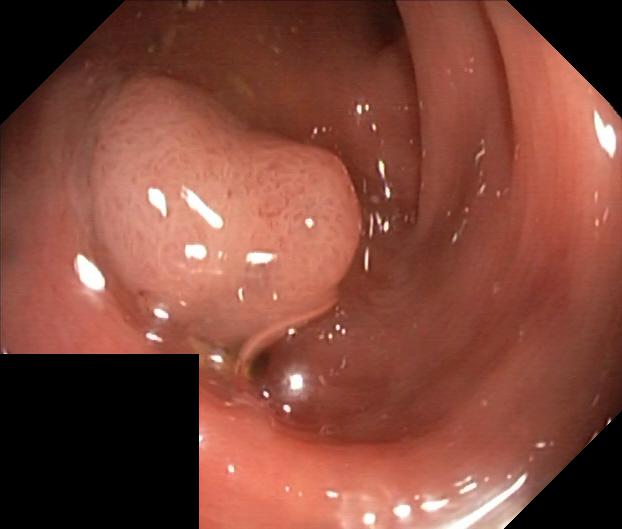colorectal polyp(s).